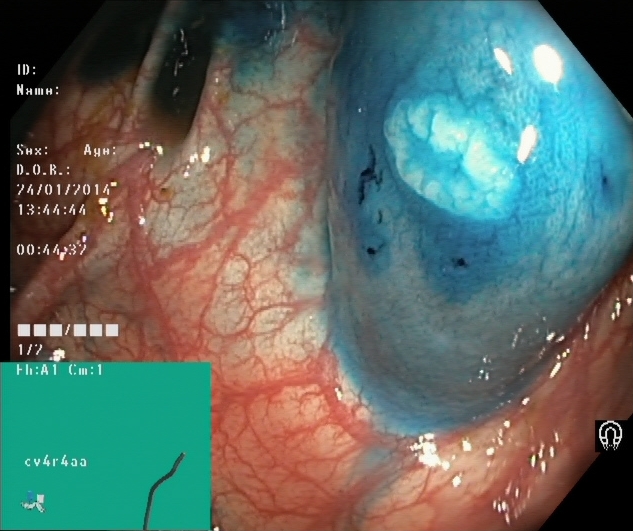Lower gastrointestinal endoscopy image showing dyed and lifted polyp (pre-resection).